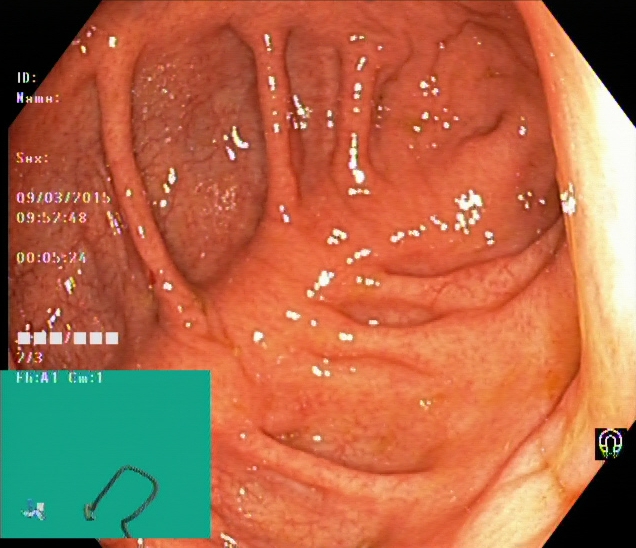{"modality": "lower gastrointestinal endoscopy", "tract": "lower GI tract", "category": "anatomical landmark", "finding": "cecum"}